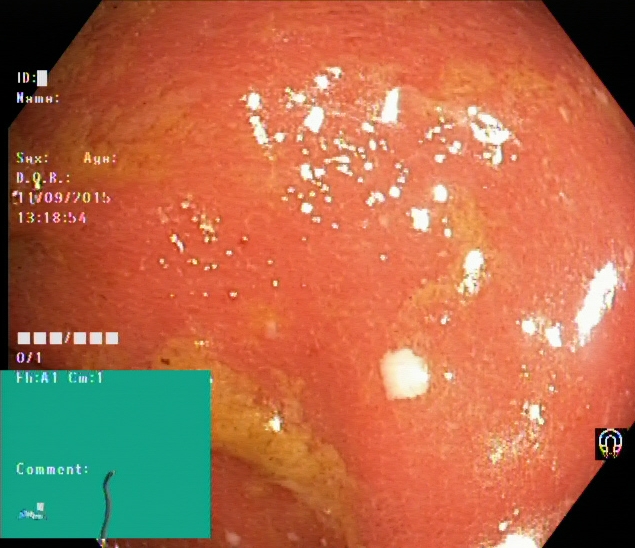Endoscopic frame of the lower GI tract showing ulcerative colitis, Mayo endoscopic subscore 2.